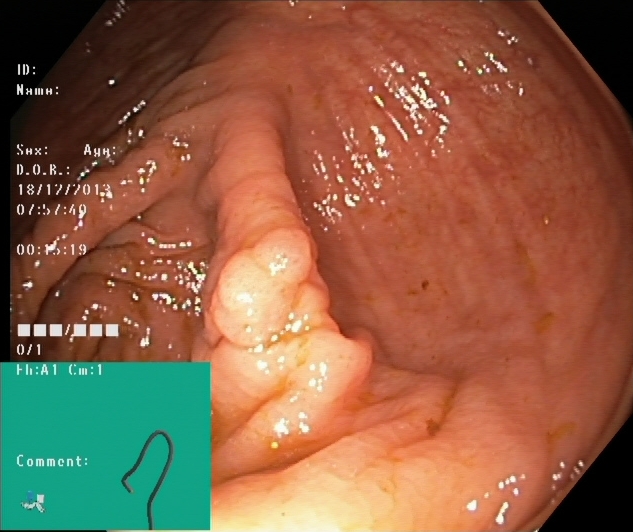Colonoscopy. Finding: cecum.